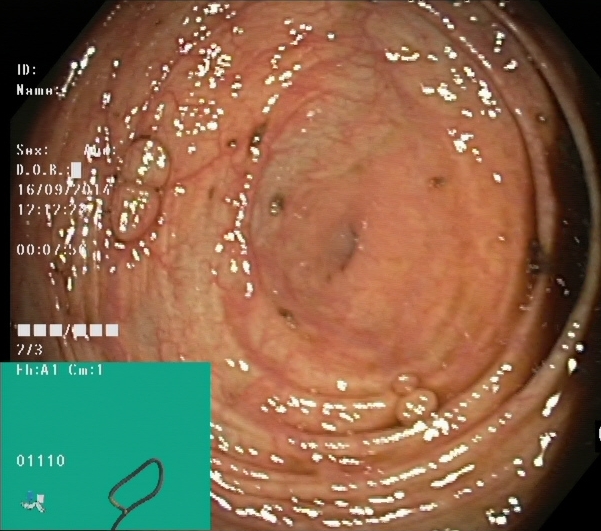Cecum.